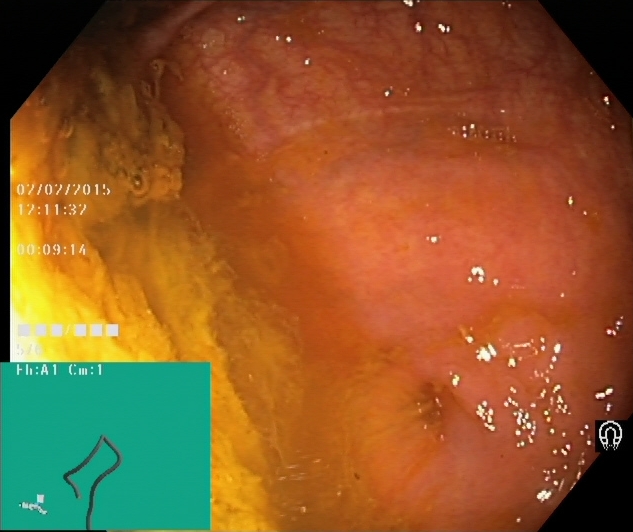Cecum.